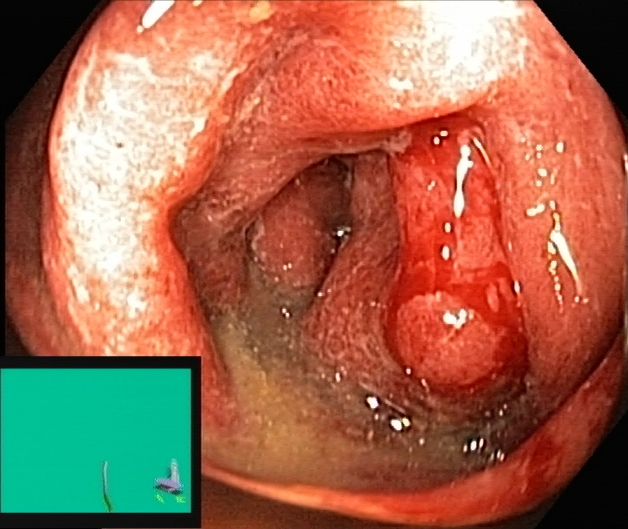Colonoscopy — UC, Mayo endoscopic subscore 3.